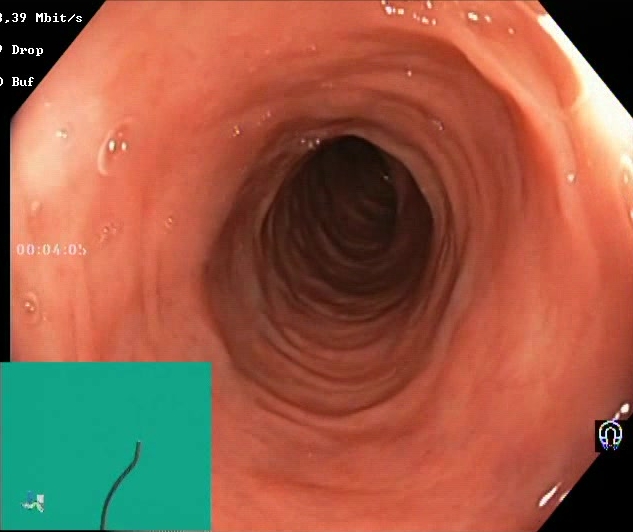modality: lower gastrointestinal endoscopy; finding: Boston Bowel Preparation Scale score 2–3 (adequate preparation)